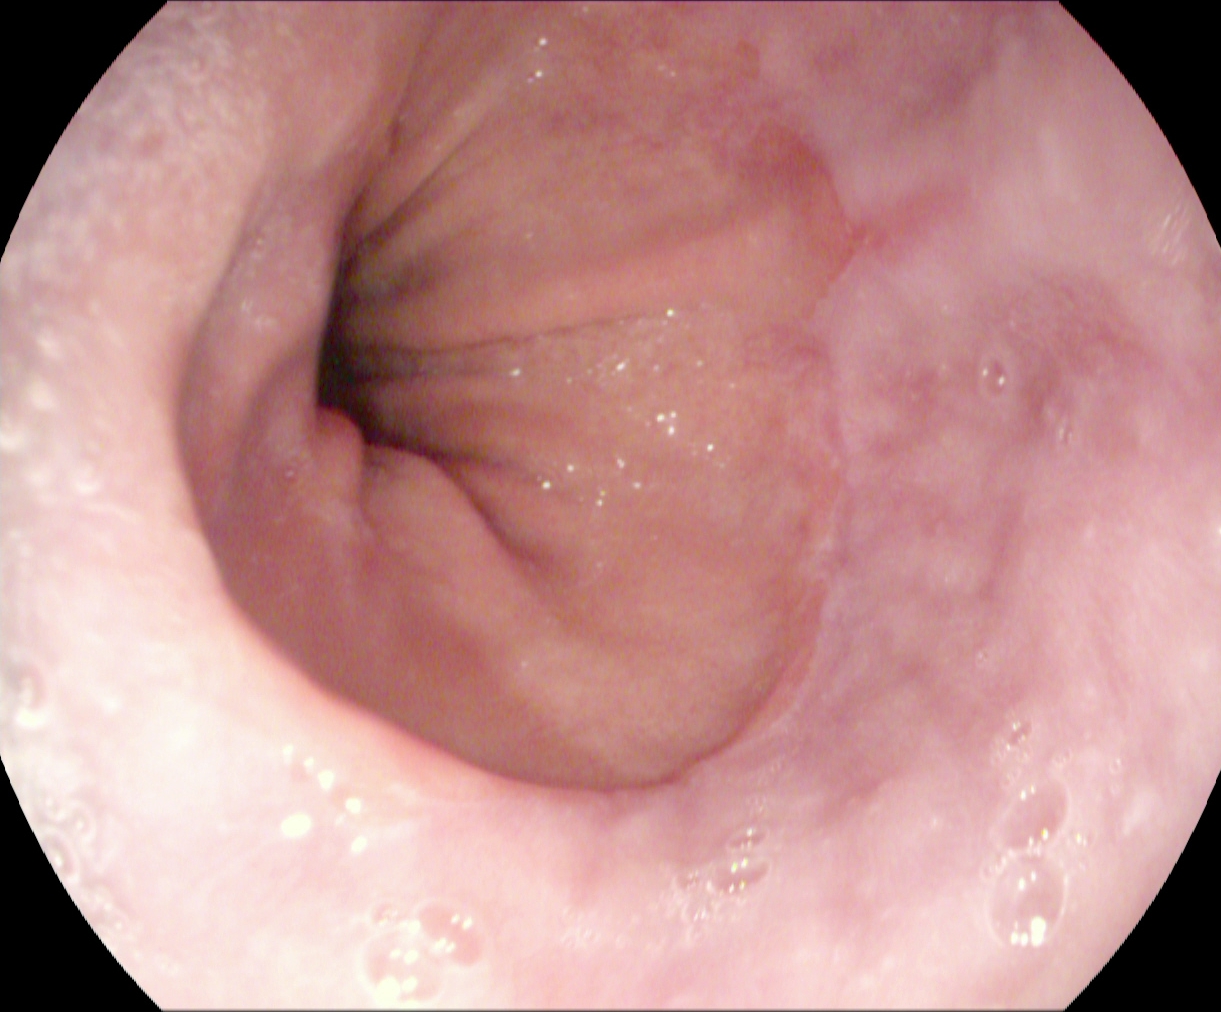PROCEDURE: Upper-GI endoscopy.
FINDINGS: Reflux esophagitis, LA grade A.